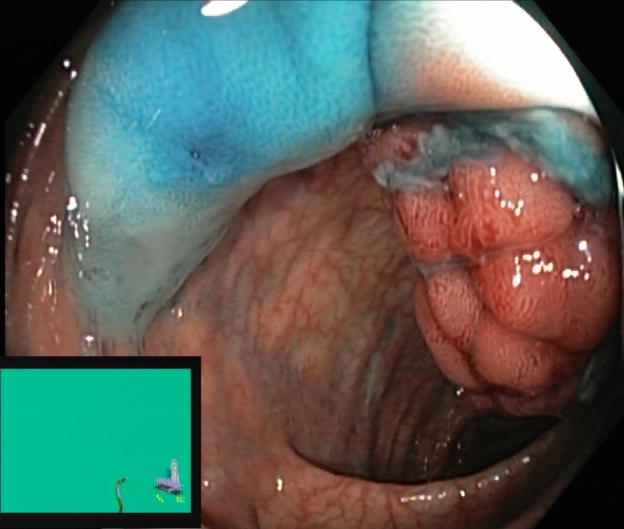Gastrointestinal endoscopy image of the lower GI tract showing dyed and lifted polyp (pre-resection).